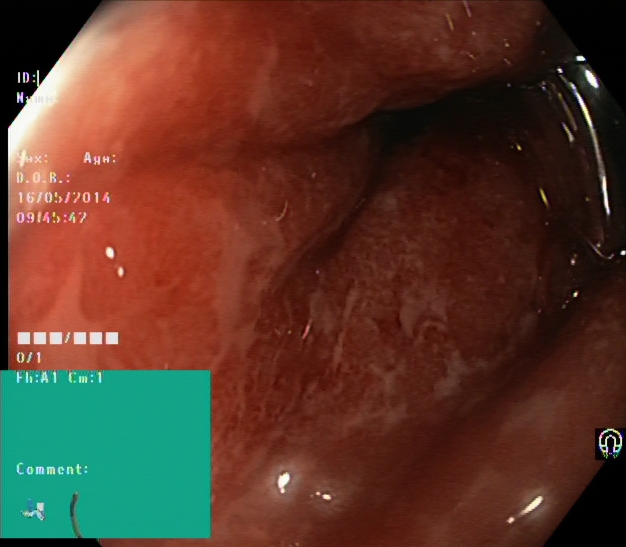modality: lower-GI endoscopy; tract: lower GI tract; finding: ulcerative colitis, Mayo endoscopic subscore 2